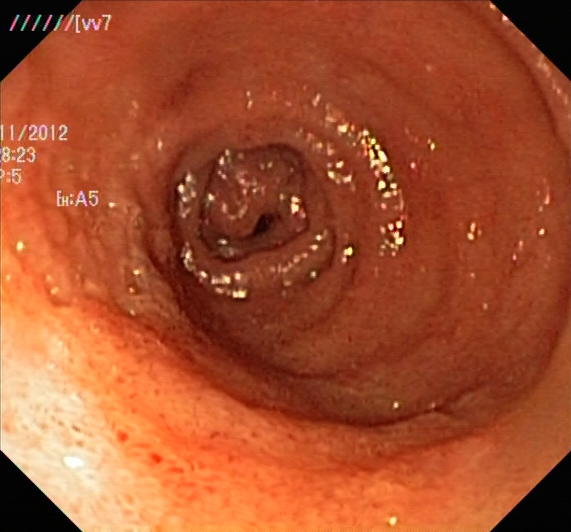PROCEDURE: Lower-GI endoscopy.
FINDINGS: Ulcerative colitis, Mayo endoscopic subscore 2.